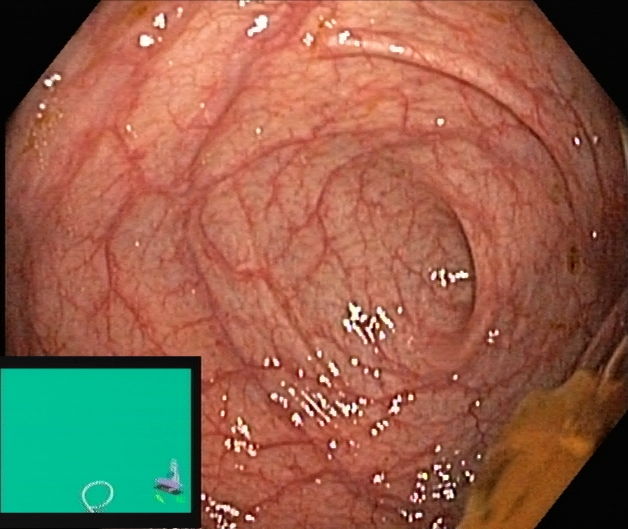{"modality": "lower-GI endoscopy", "finding": "cecum"}